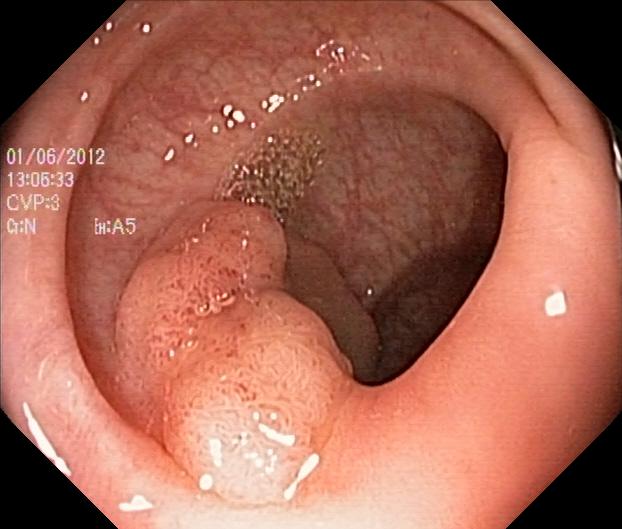Colorectal polyp(s).